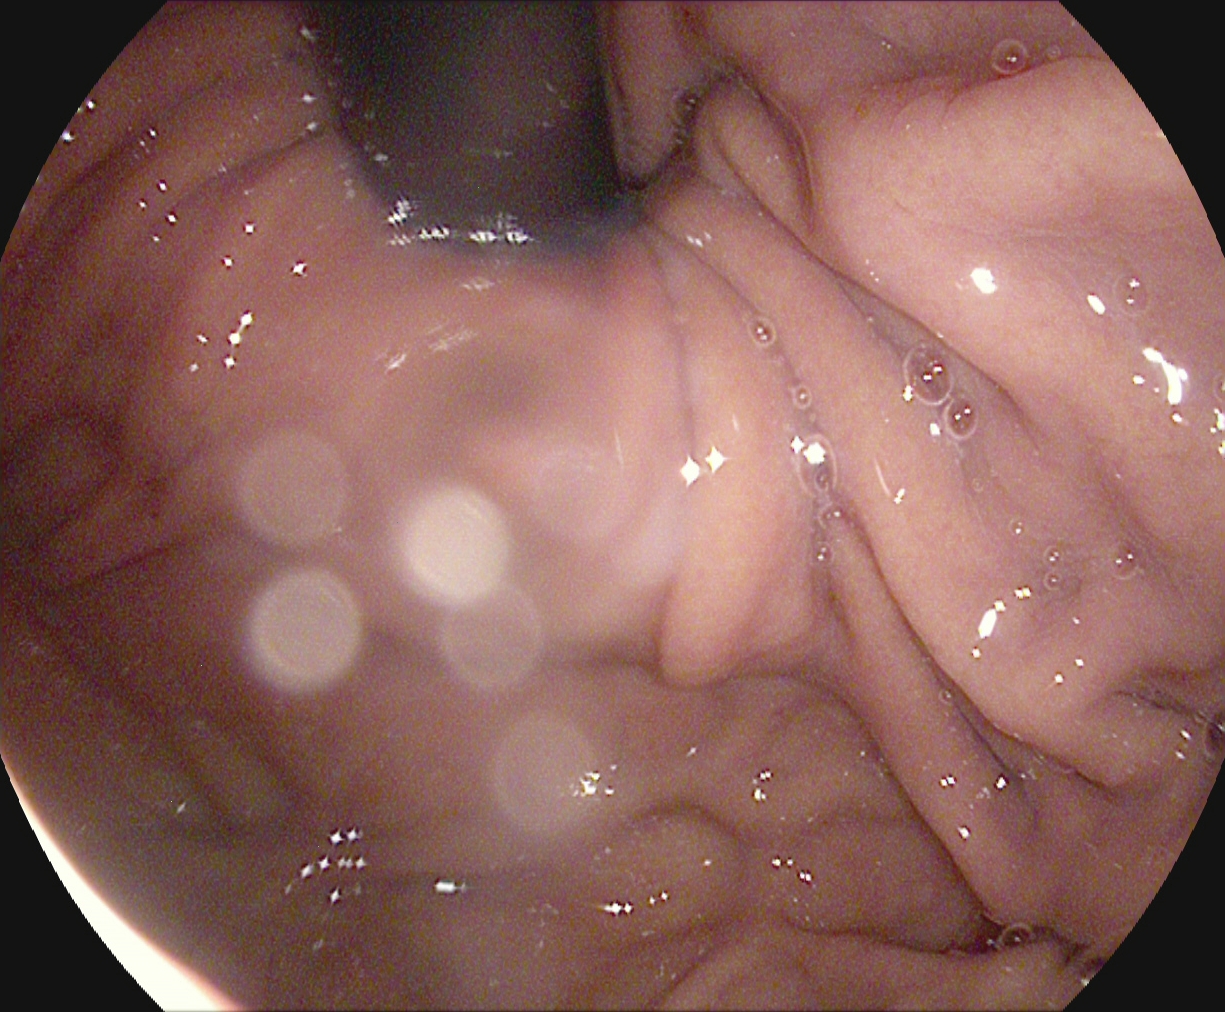Endoscopy image showing stomach in retroflexion.